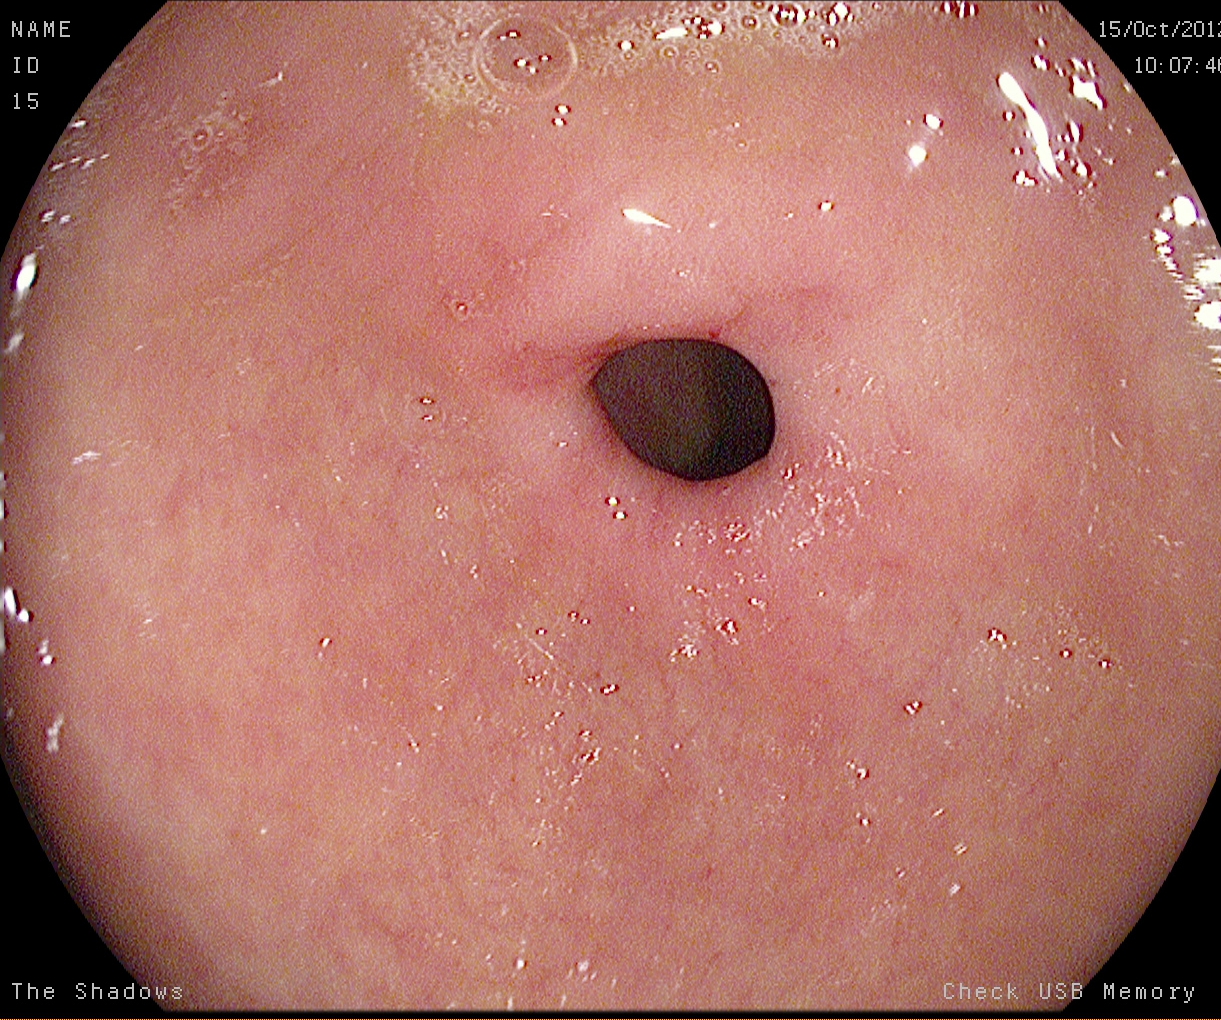Pylorus.